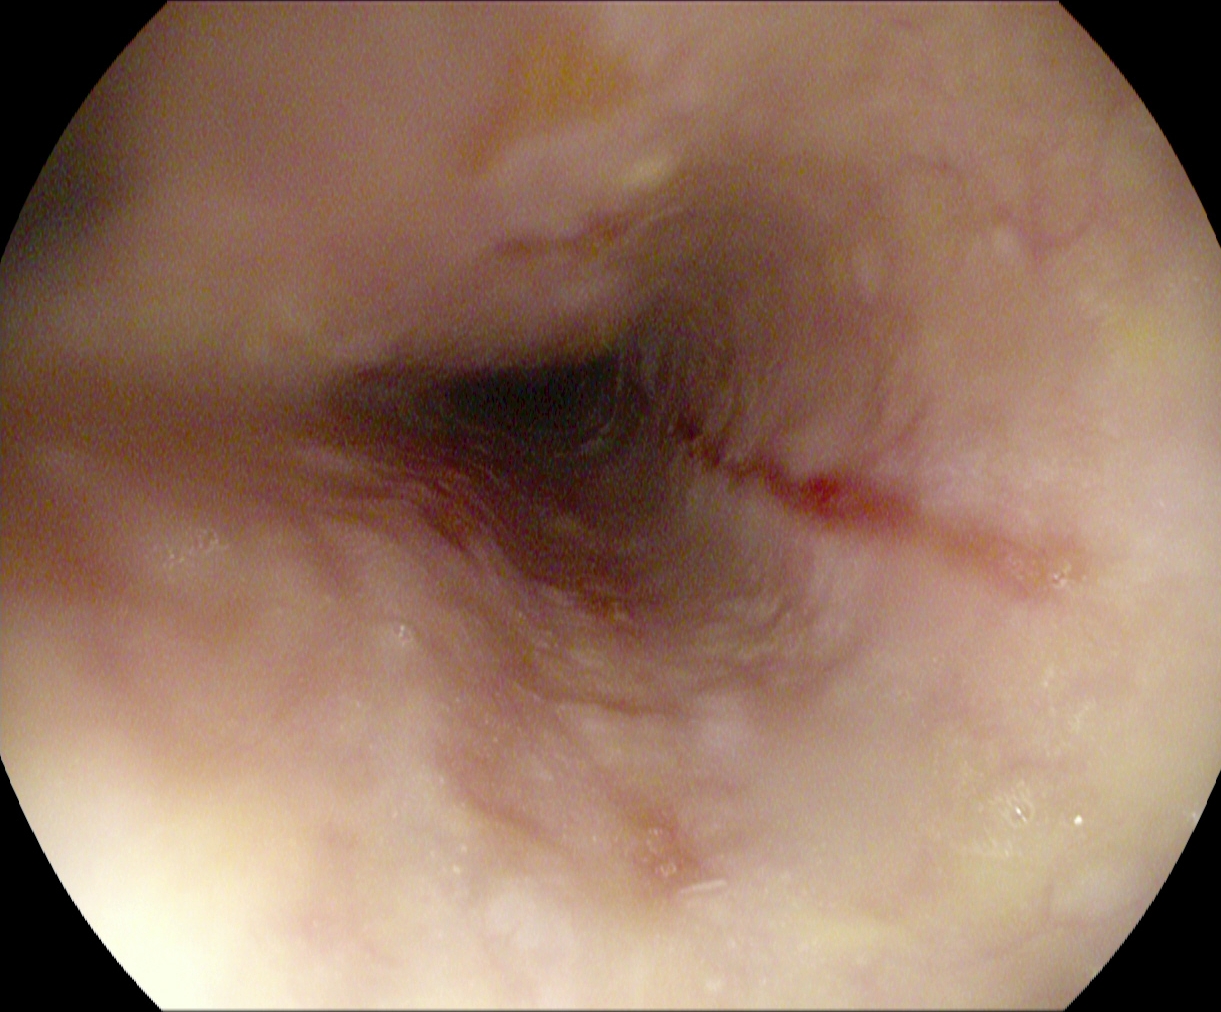modality: gastroscopy | tract: upper GI tract | category: pathological finding | finding: reflux esophagitis, LA grade B–D